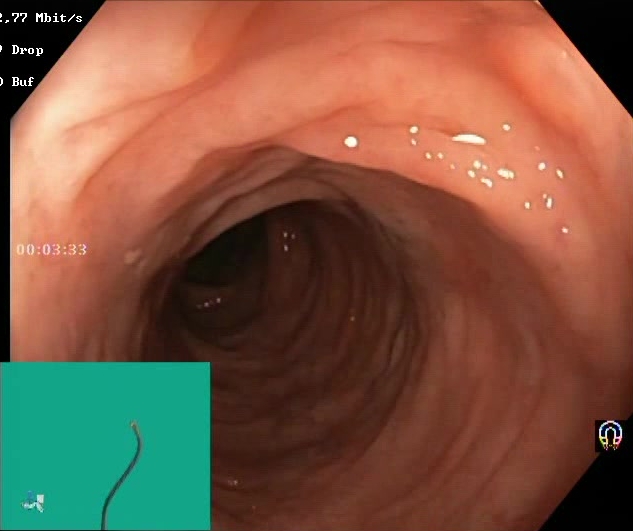modality: lower-GI endoscopy | tract: lower GI tract | finding: Boston Bowel Preparation Scale score 2–3 (adequate preparation)